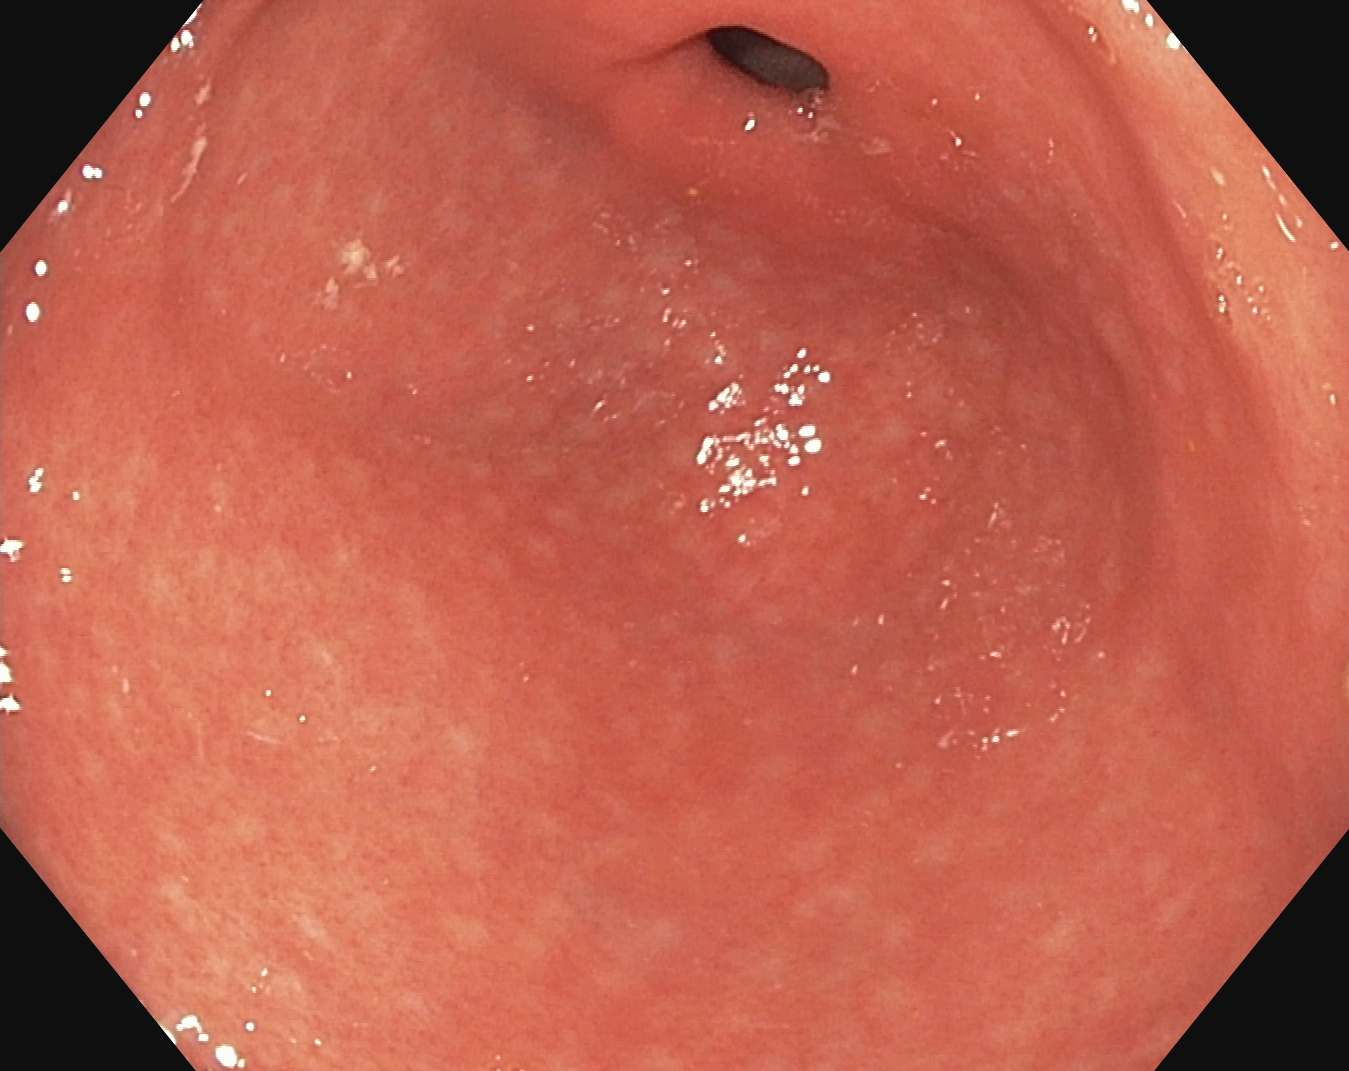GI endoscopy image of the upper GI tract showing pylorus.